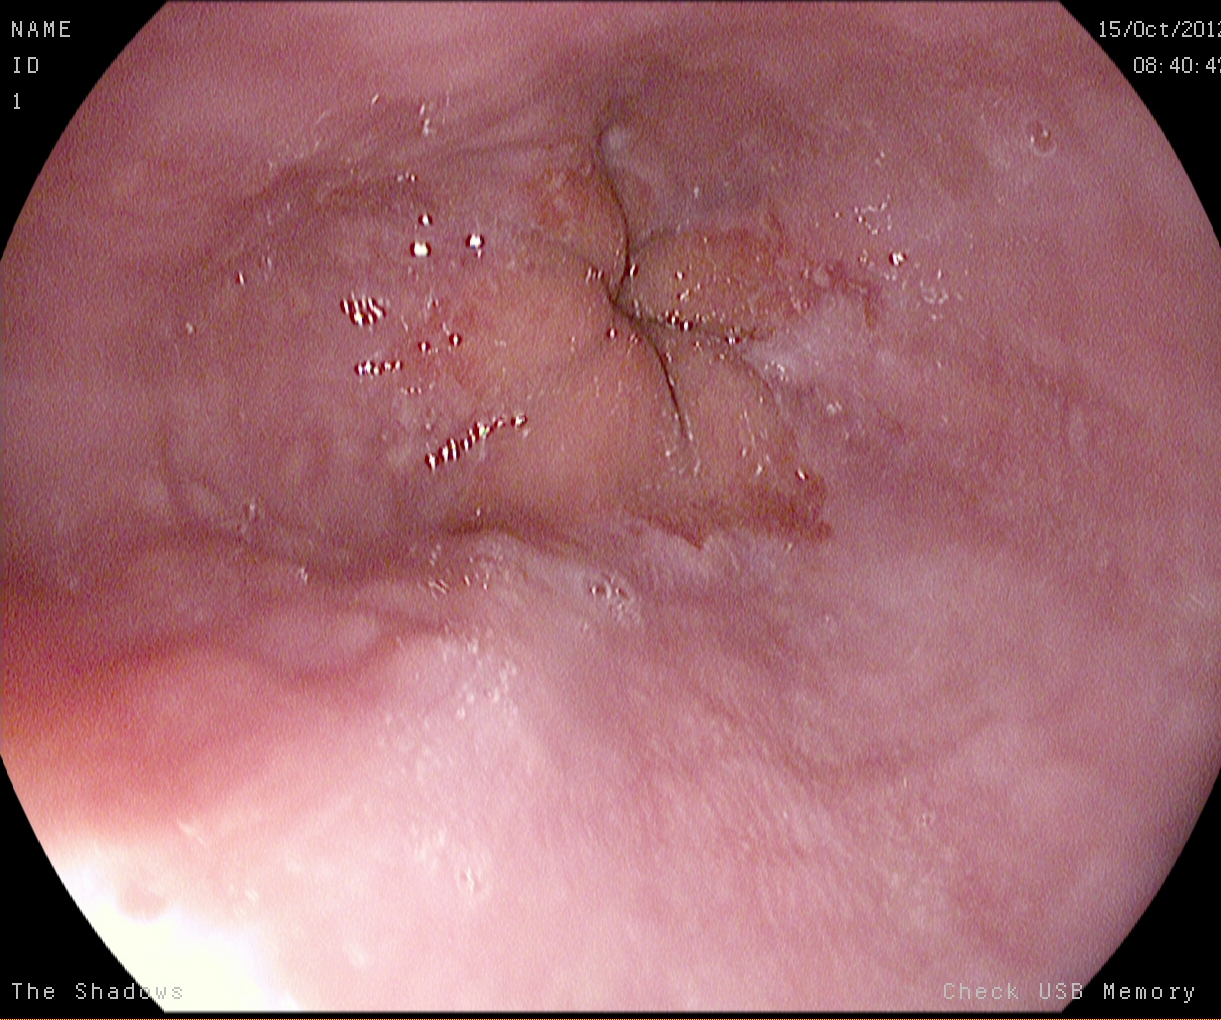modality: upper-GI endoscopy | tract: upper GI tract | finding: Z-line (gastroesophageal junction)